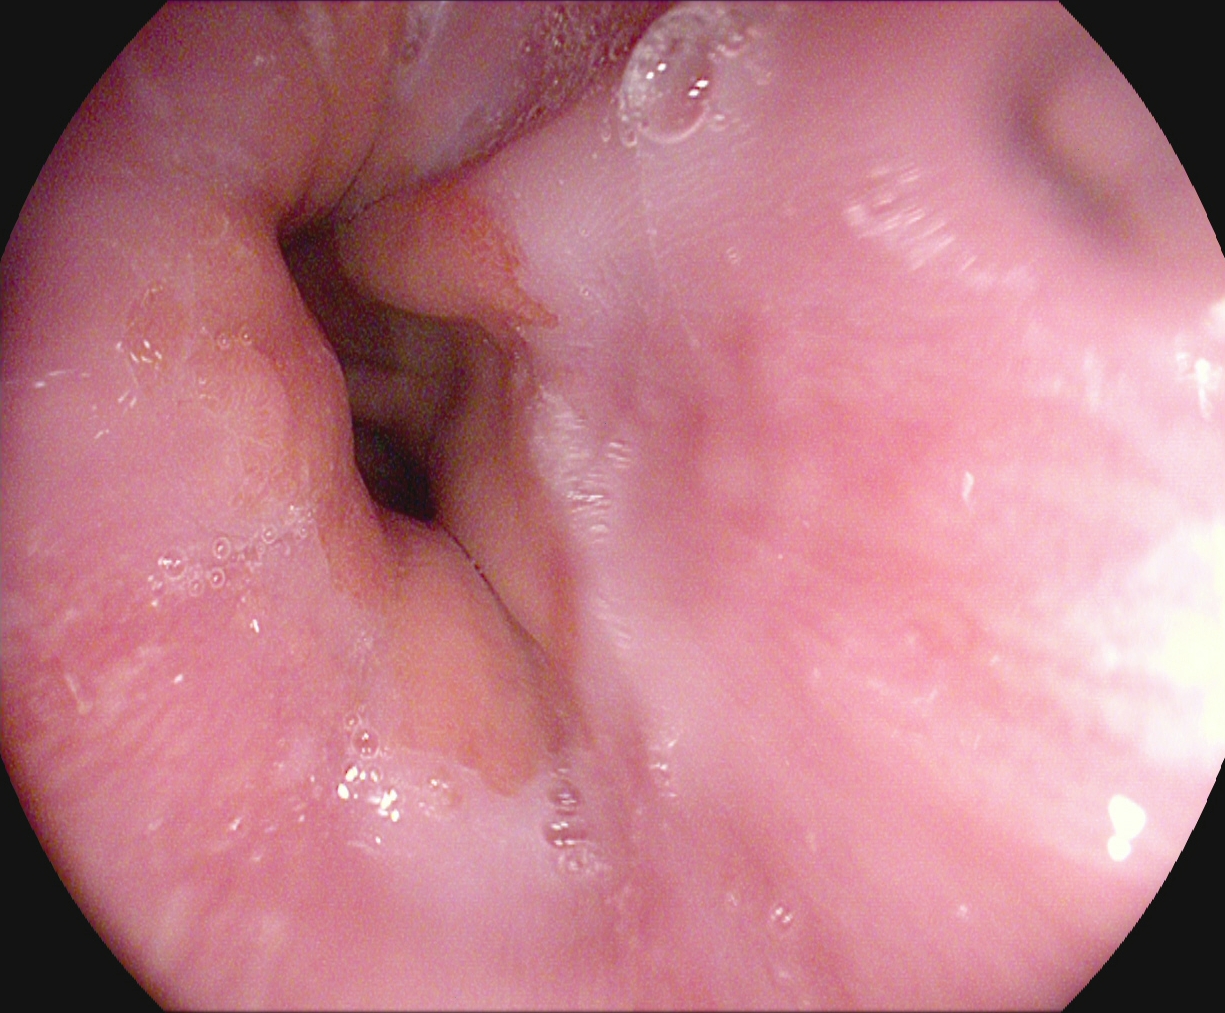{"modality": "esophagogastroduodenoscopy", "finding": "Z-line (gastroesophageal junction)"}